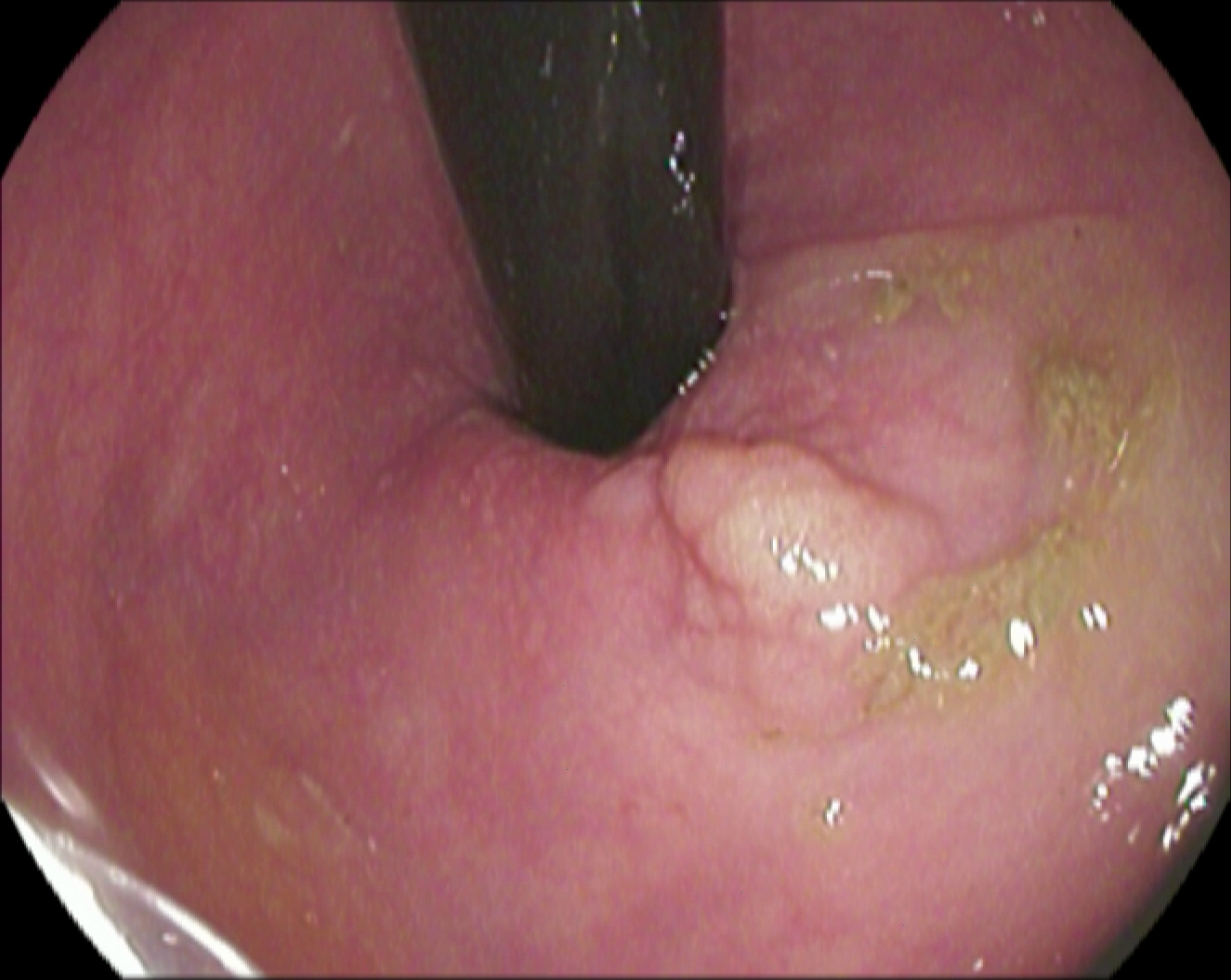colorectal polyp(s).